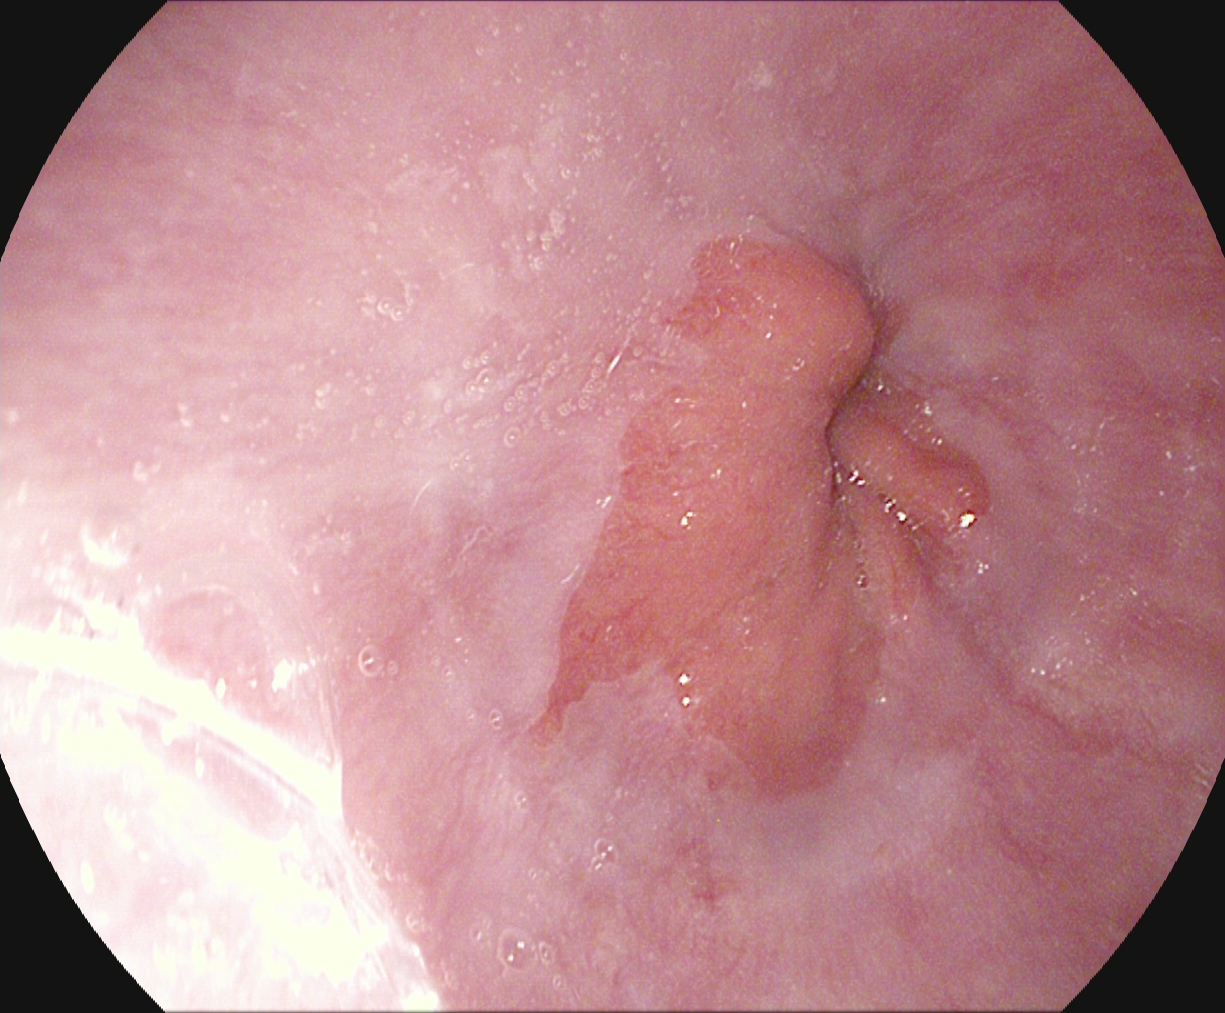PROCEDURE: Upper-GI endoscopy.
CATEGORY: Anatomical landmark.
FINDINGS: Z-line (gastroesophageal junction).